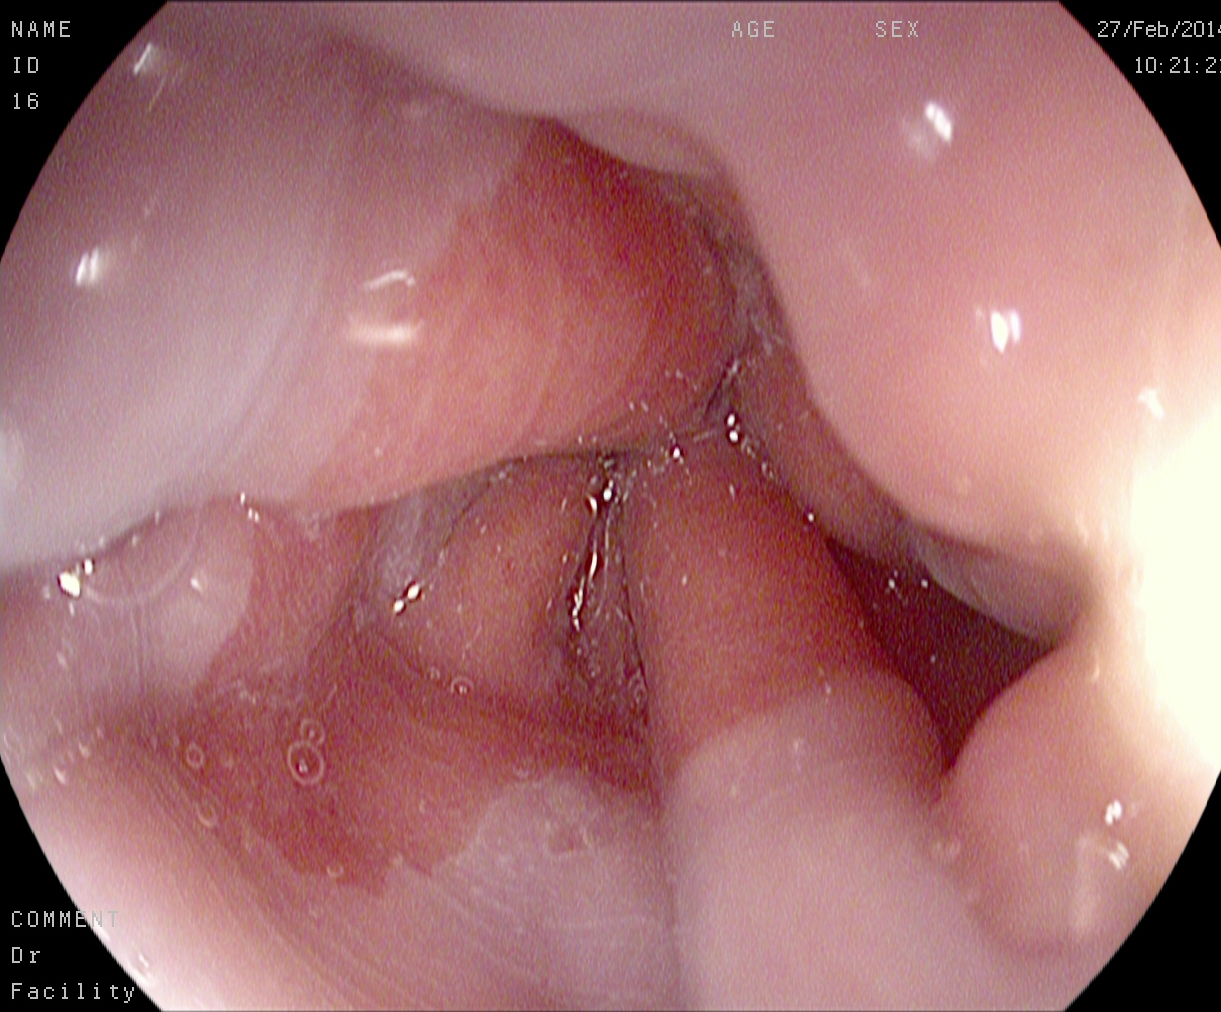PROCEDURE: Gastroscopy.
FINDINGS: Z-line (gastroesophageal junction).